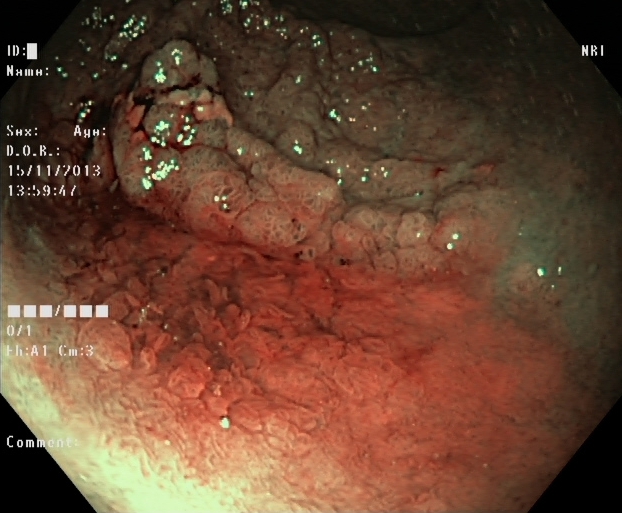PROCEDURE: Lower-GI endoscopy.
FINDINGS: Dyed and lifted polyp (pre-resection).